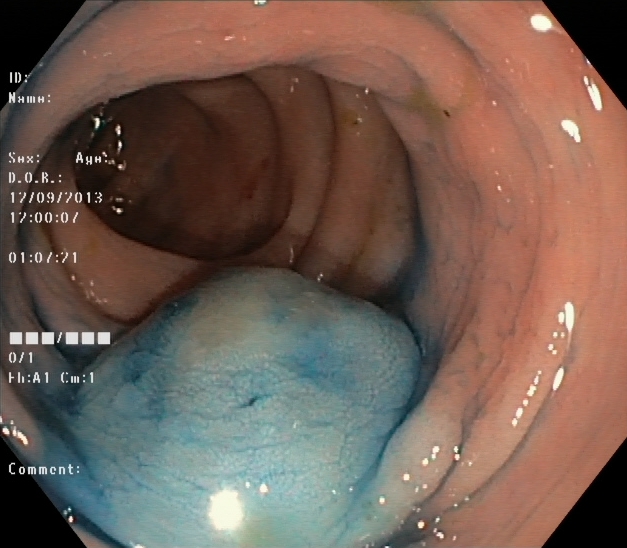This endoscopic image shows dyed and lifted polyp (pre-resection).